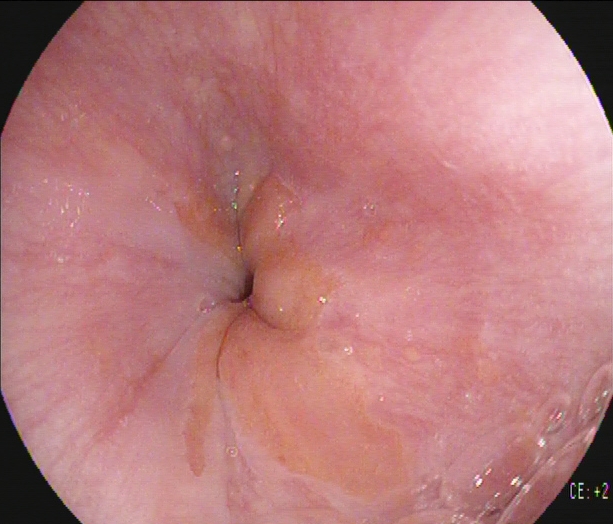PROCEDURE: Gastroscopy.
CATEGORY: Anatomical landmark.
FINDINGS: Z-line (gastroesophageal junction).